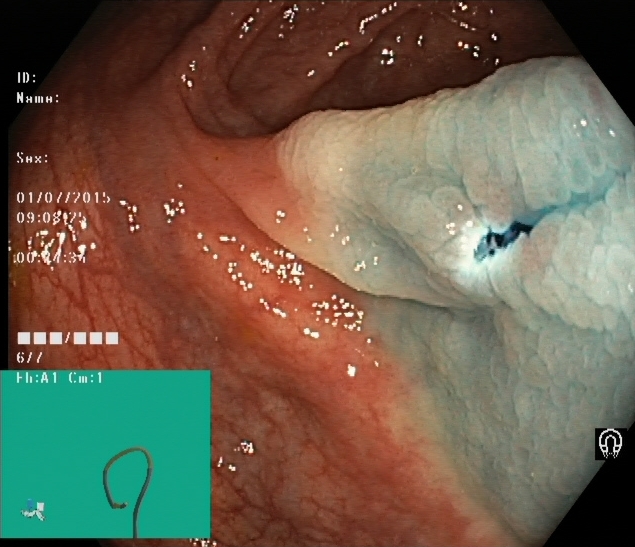Dyed resection margins (post-polypectomy).